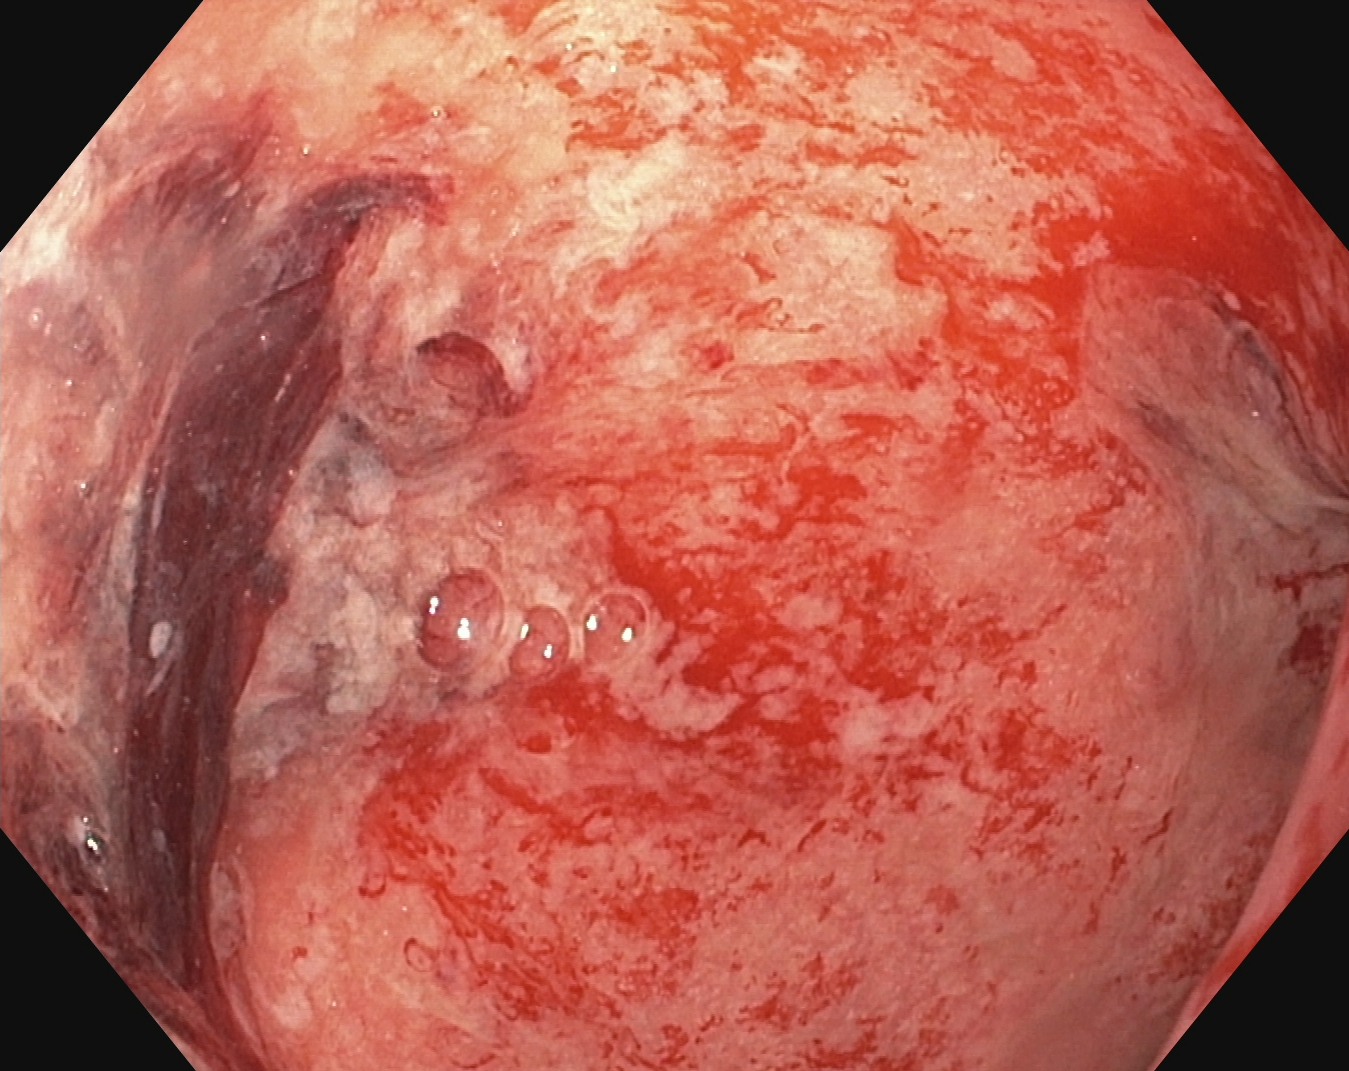modality: lower gastrointestinal endoscopy | category: pathological finding | finding: UC, Mayo endoscopic subscore 3